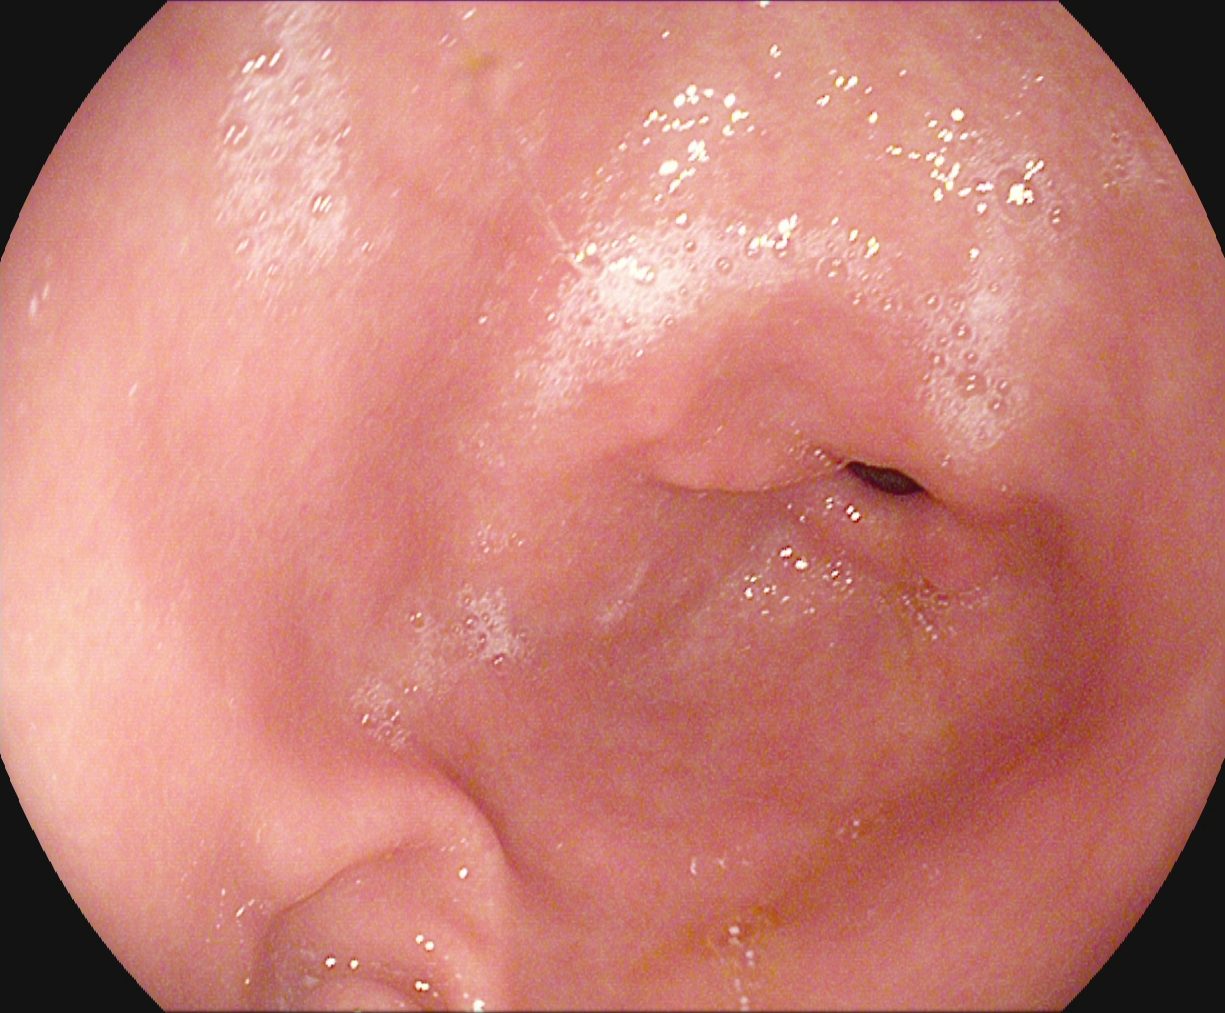modality: EGD | tract: upper GI tract | finding: pylorus